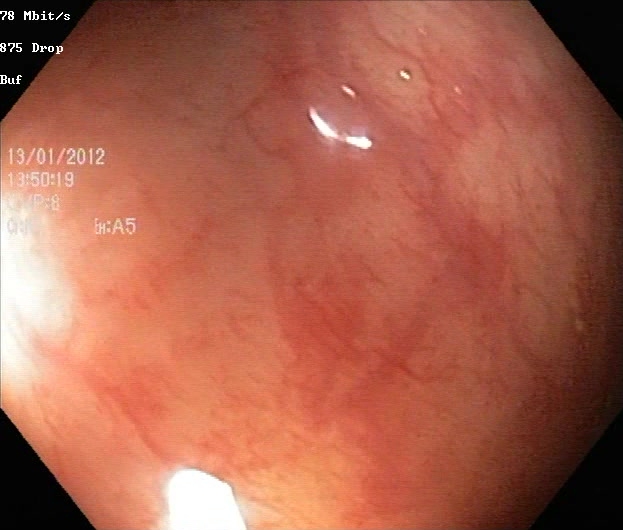modality: lower-GI endoscopy; finding: ulcerative colitis, Mayo endoscopic subscore 1